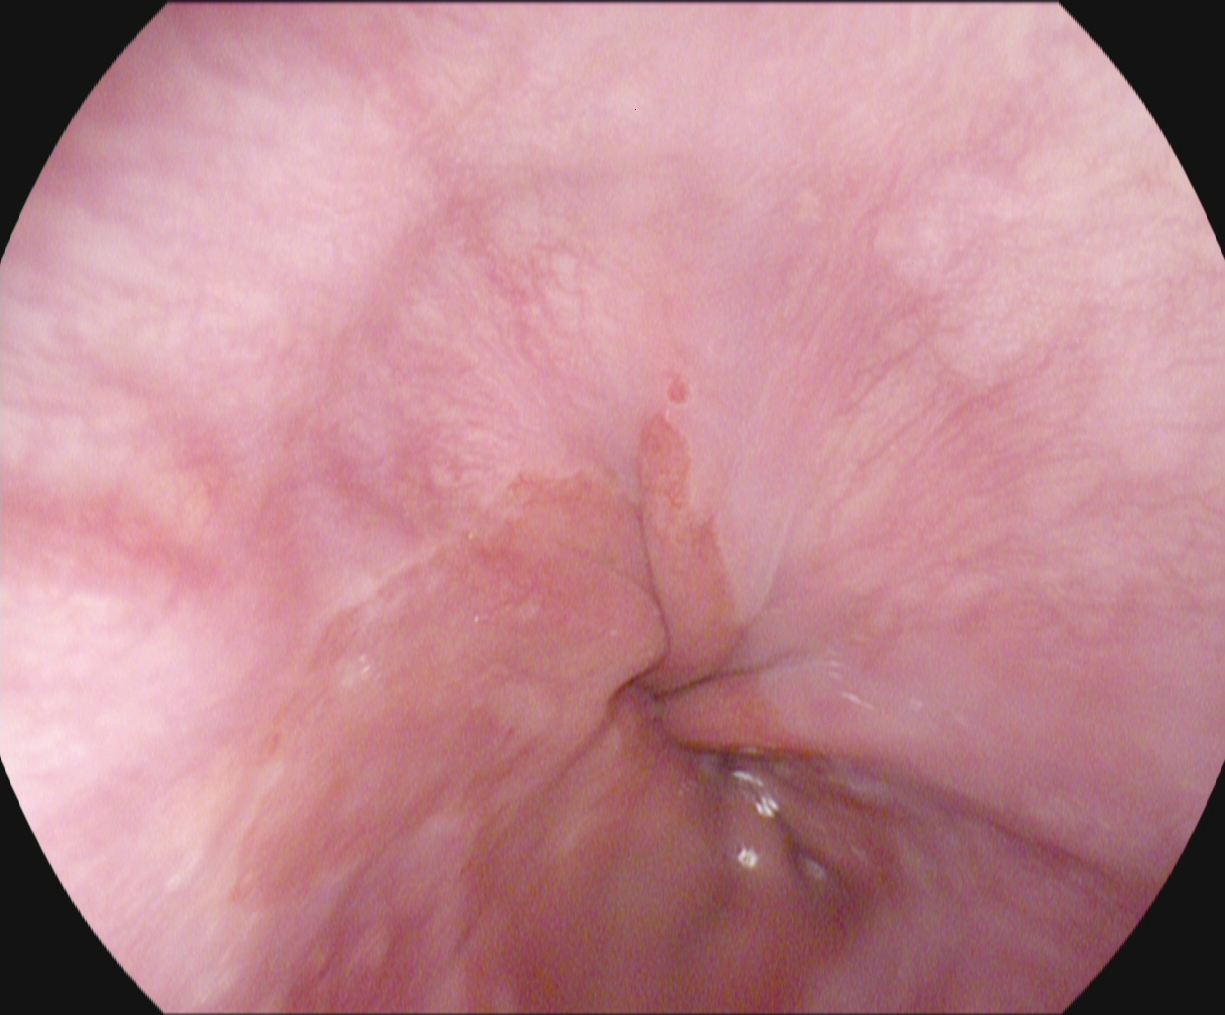modality: upper-GI endoscopy
category: anatomical landmark
finding: Z-line (gastroesophageal junction)